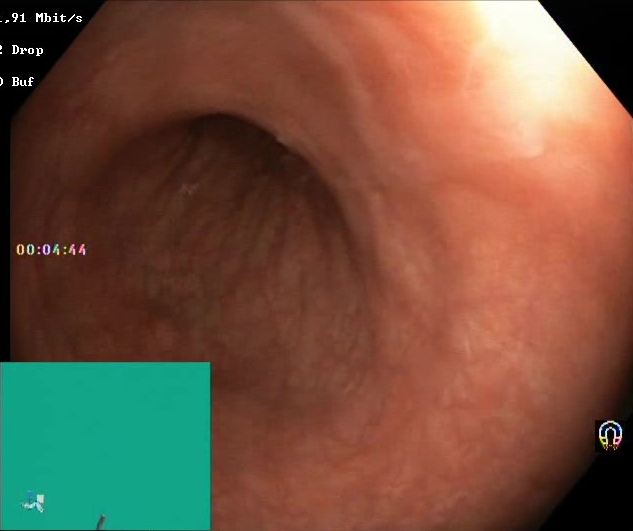Lower-GI endoscopy image showing Boston Bowel Preparation Scale score 2–3 (adequate preparation).